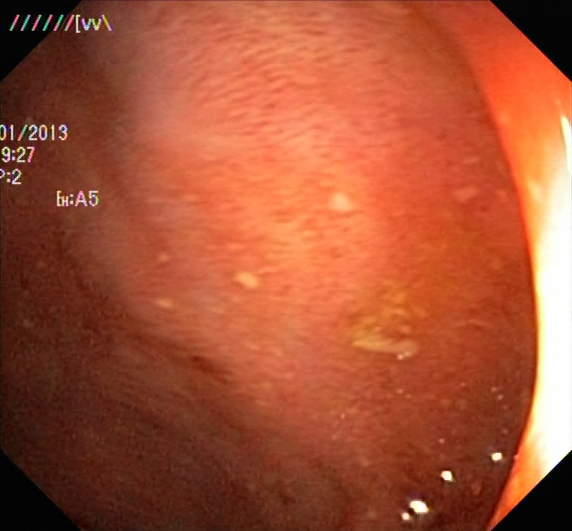Ulcerative colitis, Mayo endoscopic subscore 2.